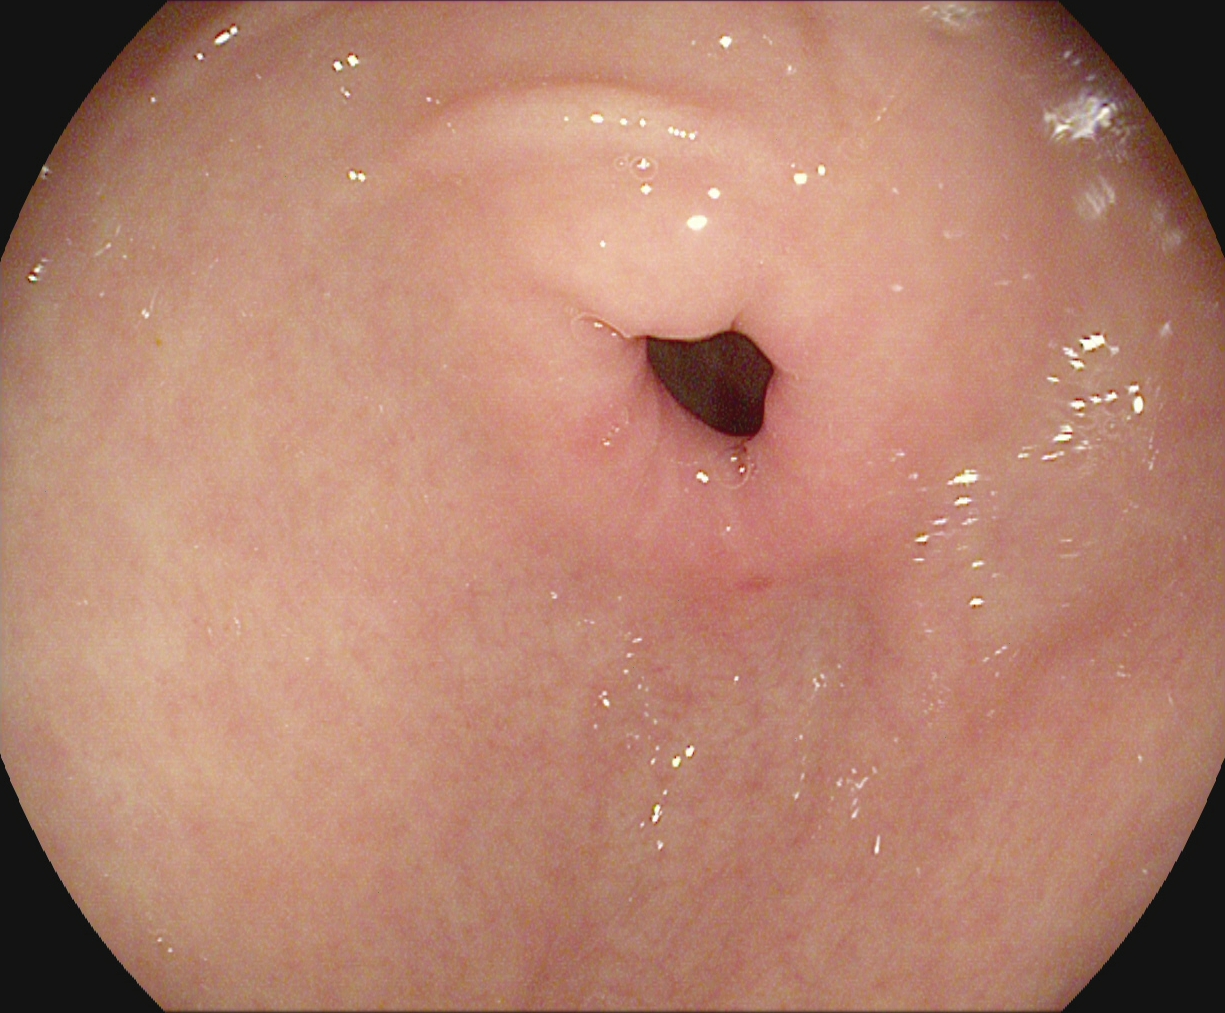Upper-GI endoscopy. Anatomical landmark. Finding: pylorus.